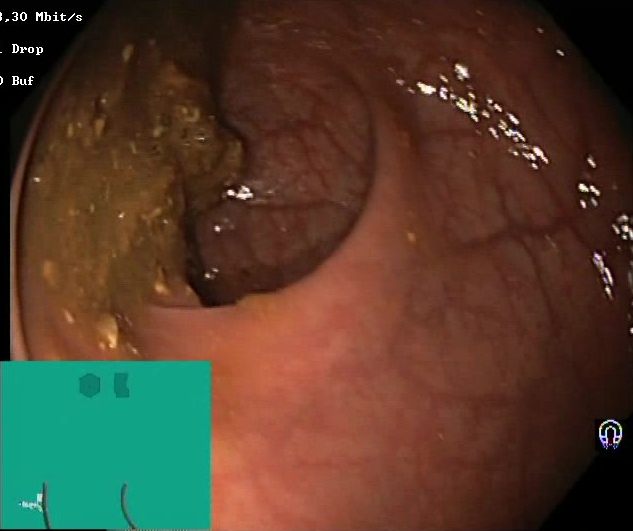Endoscopy image of the lower GI tract showing Boston Bowel Preparation Scale score 0–1 (inadequate preparation).